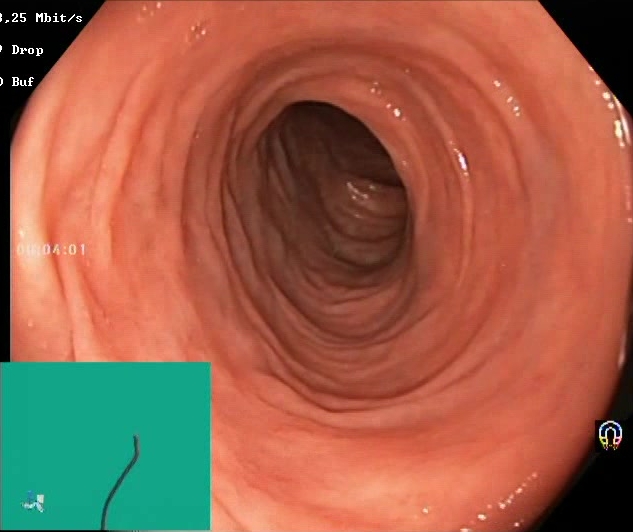Boston Bowel Preparation Scale score 2–3 (adequate preparation).